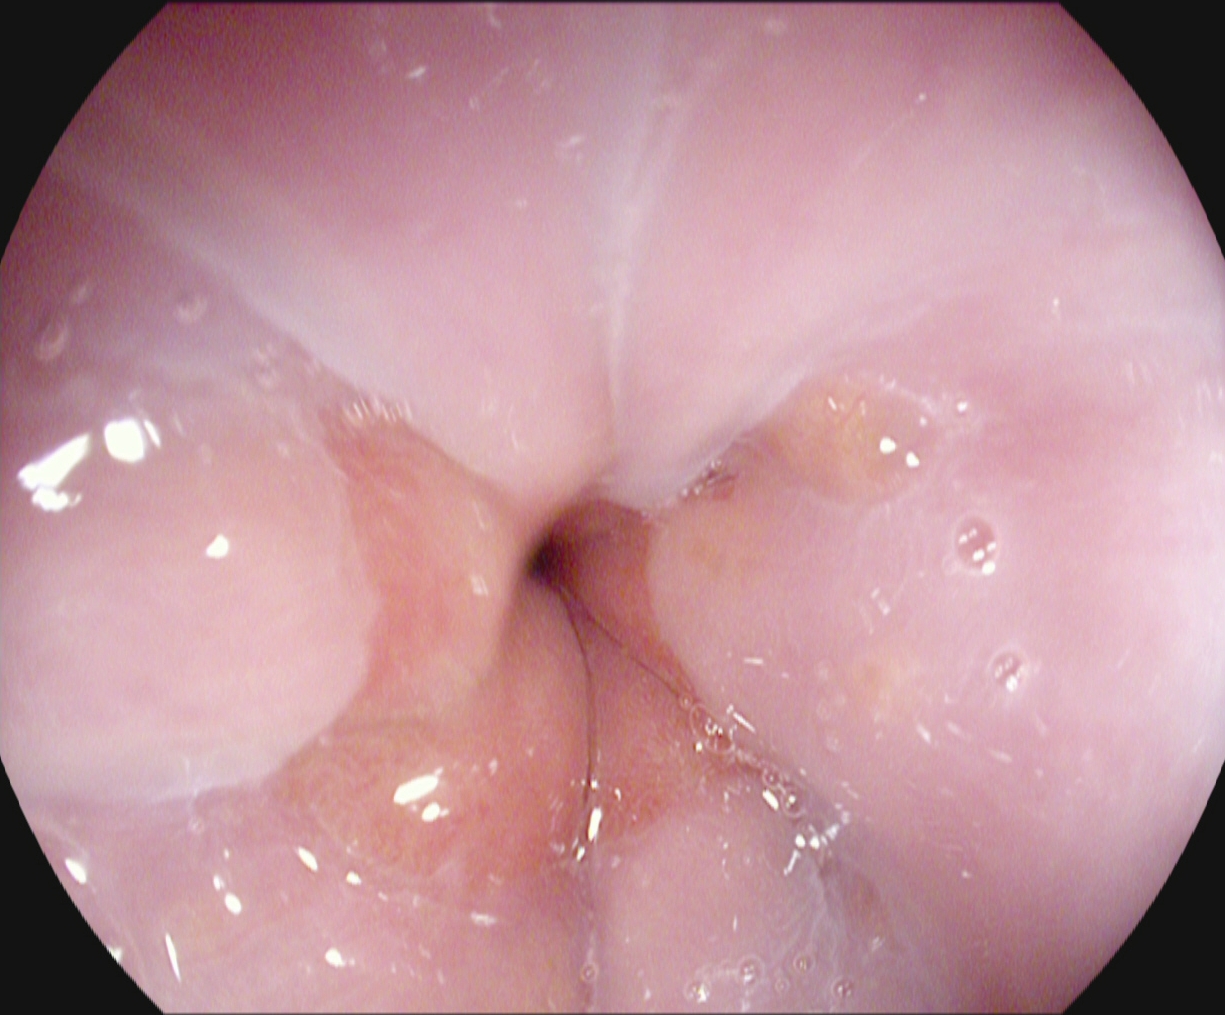Endoscopy image of the upper GI tract showing Z-line (gastroesophageal junction).